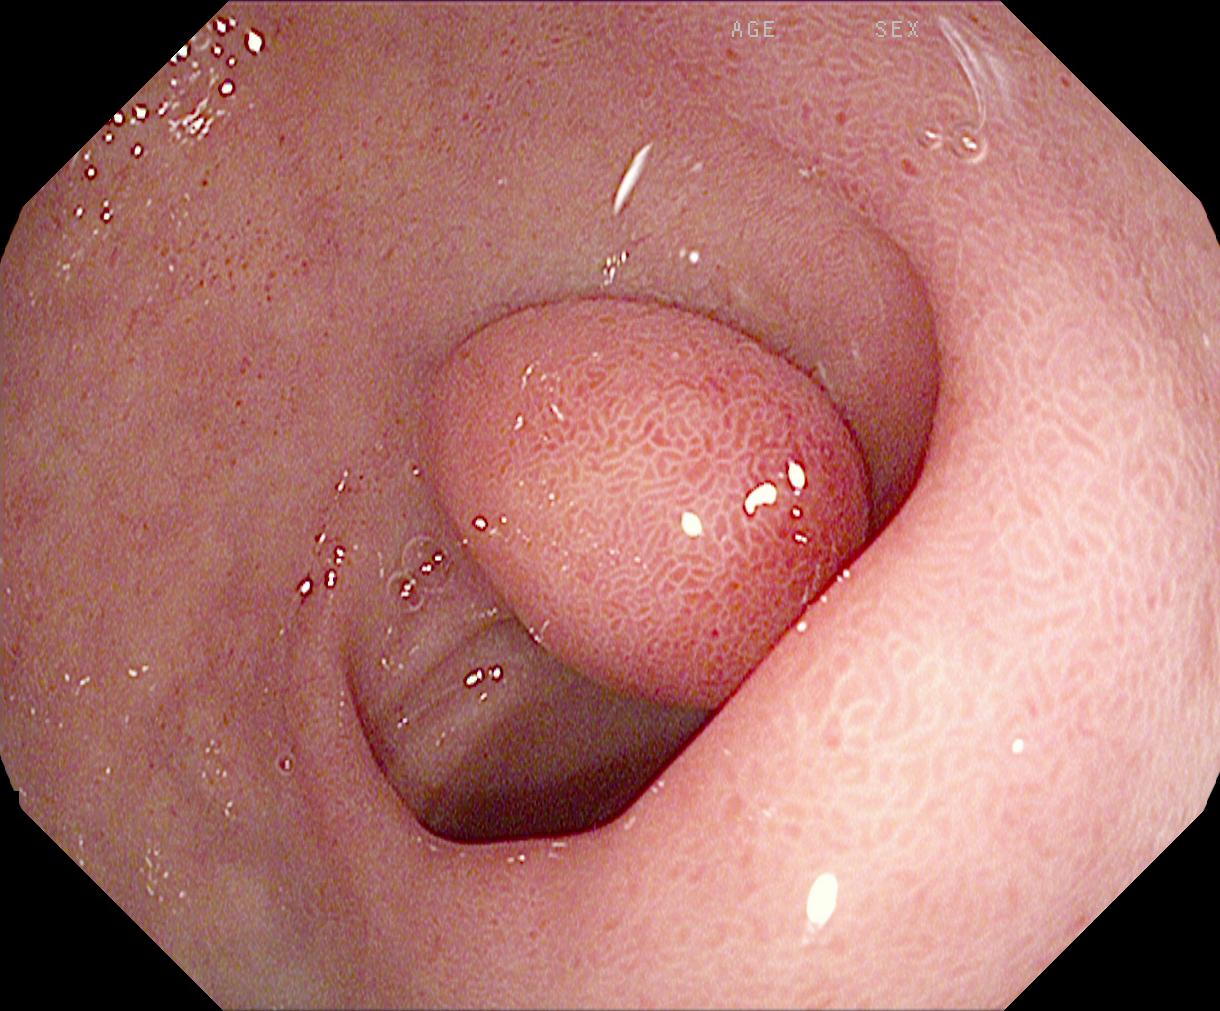Lower gastrointestinal endoscopy. Tract: lower GI tract. Finding: colorectal polyp(s).